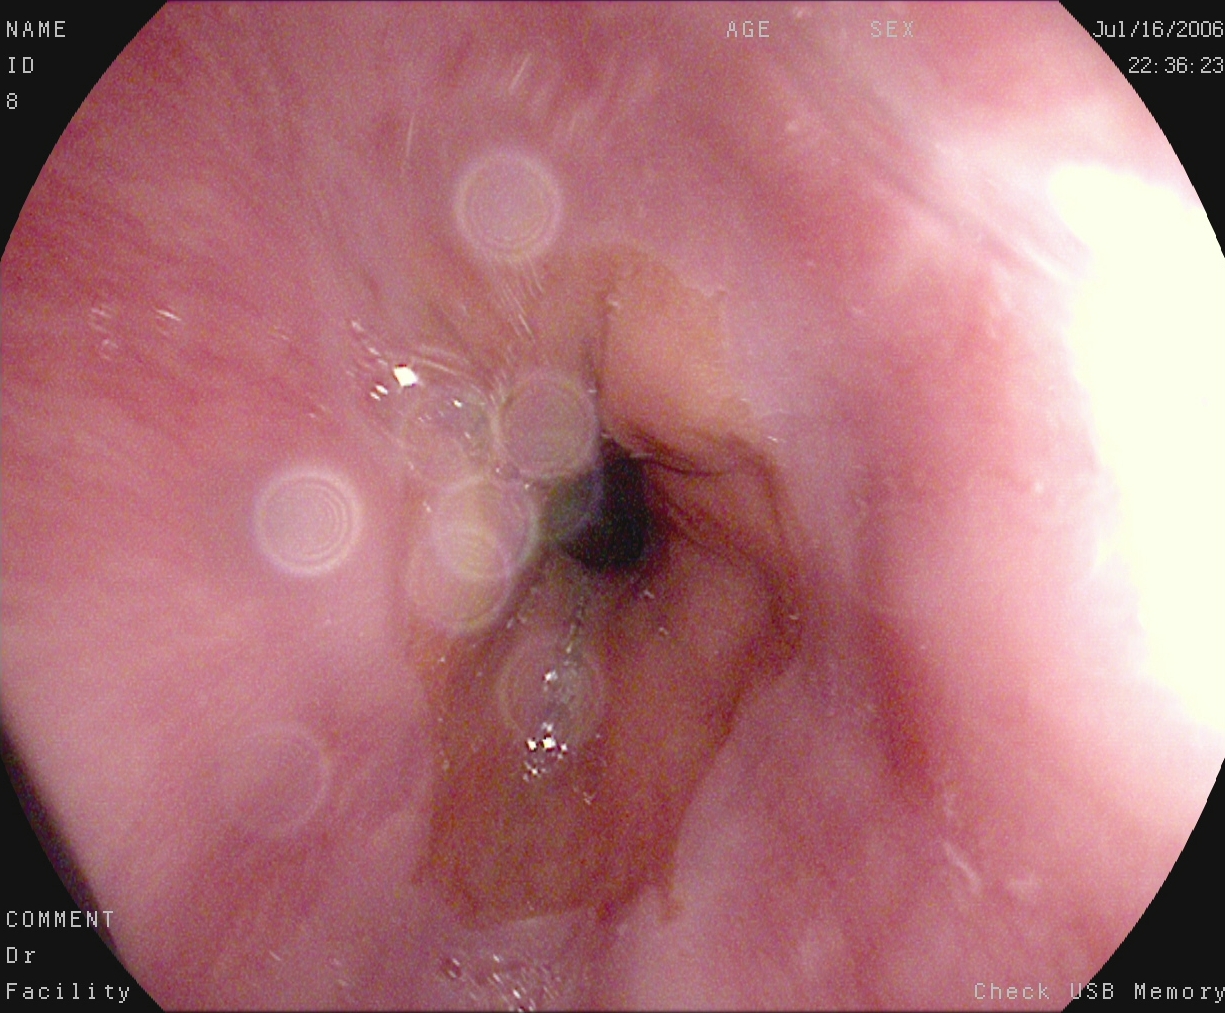This endoscopy frame of the upper GI tract shows Z-line (gastroesophageal junction).